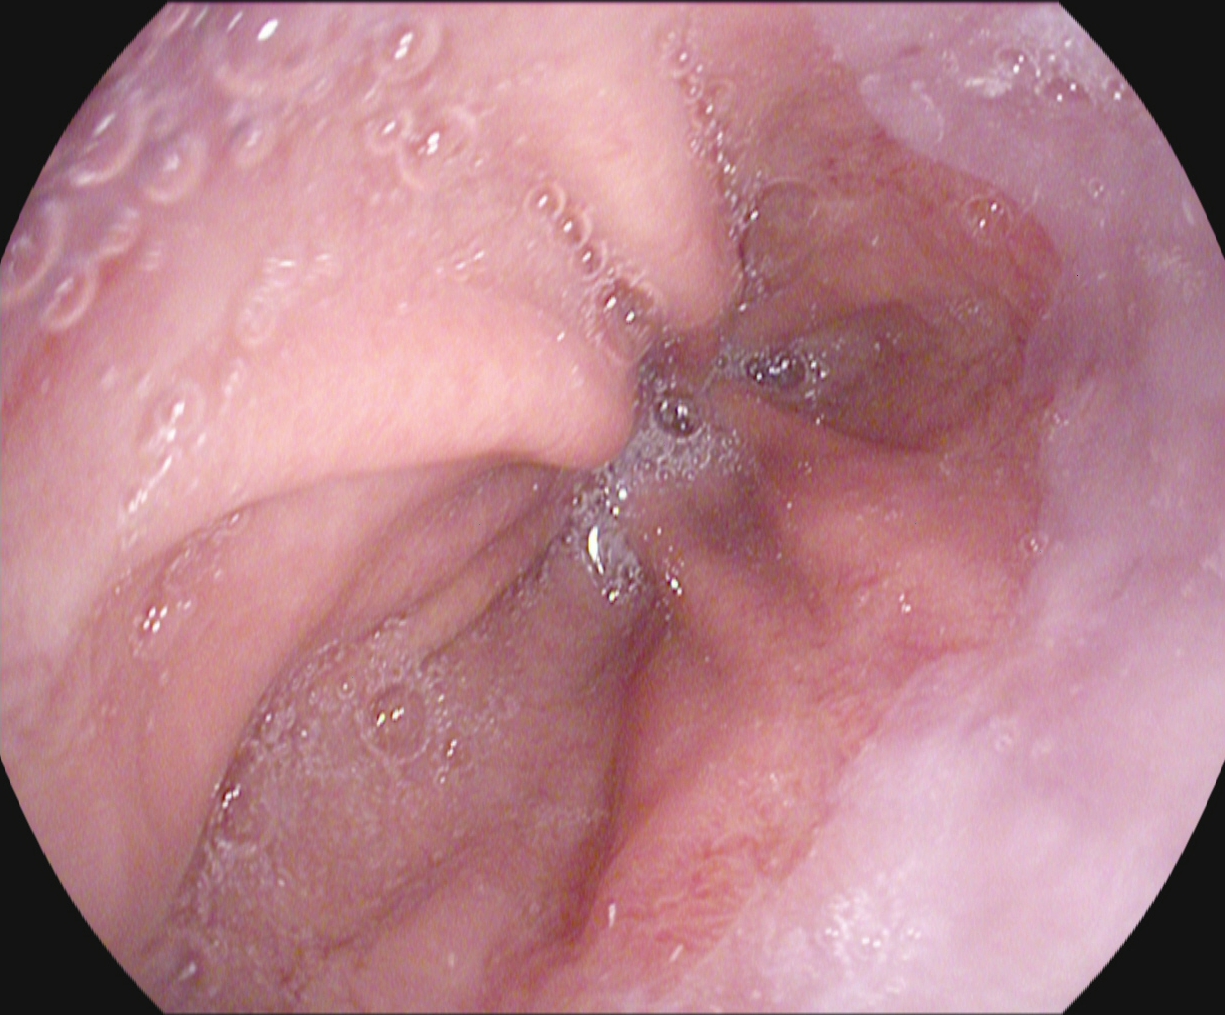{"modality": "upper-GI endoscopy", "tract": "upper GI tract", "finding": "Z-line (gastroesophageal junction)"}